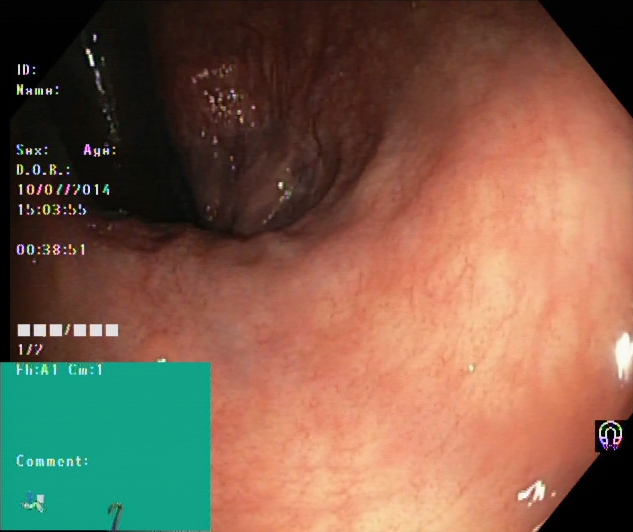Lower gastrointestinal endoscopy. Finding: rectum in retroflexion.